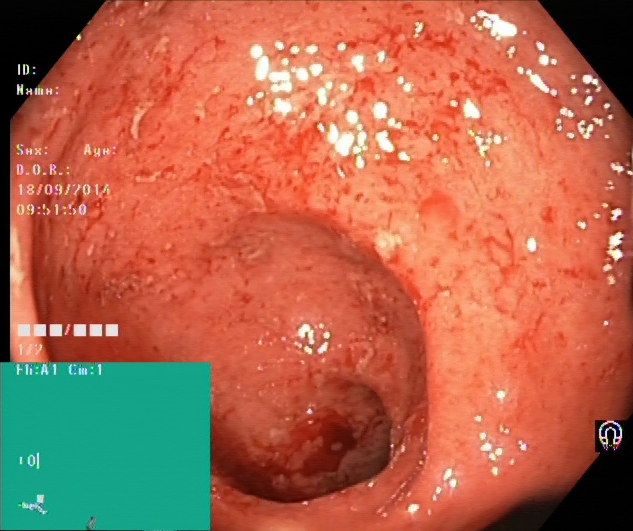Lower gastrointestinal endoscopy. Pathological finding. Finding: ulcerative colitis, Mayo endoscopic subscore 2.